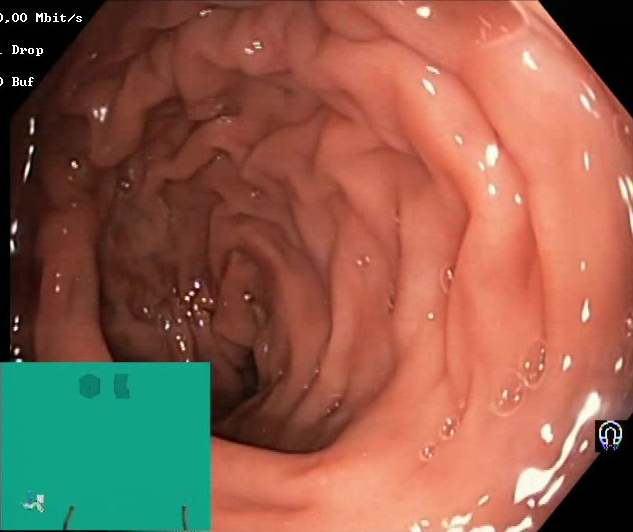{"modality": "lower gastrointestinal endoscopy", "tract": "lower GI tract", "category": "mucosal-view quality", "finding": "Boston Bowel Preparation Scale score 2\u20133 (adequate preparation)"}